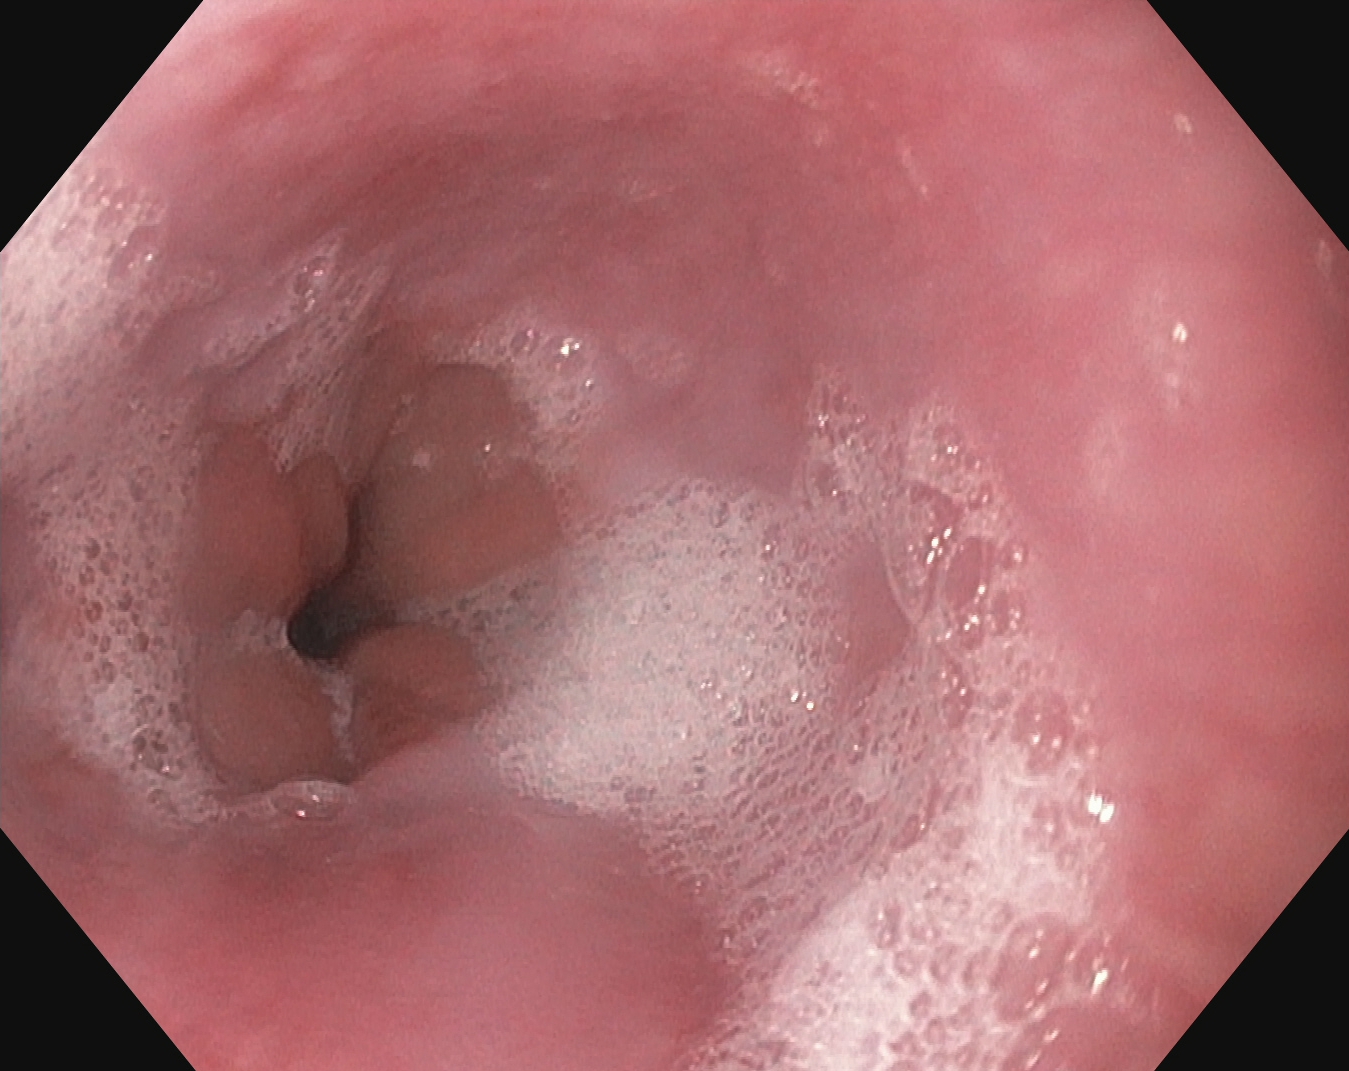Gastrointestinal endoscopy image of the upper GI tract showing Z-line (gastroesophageal junction).